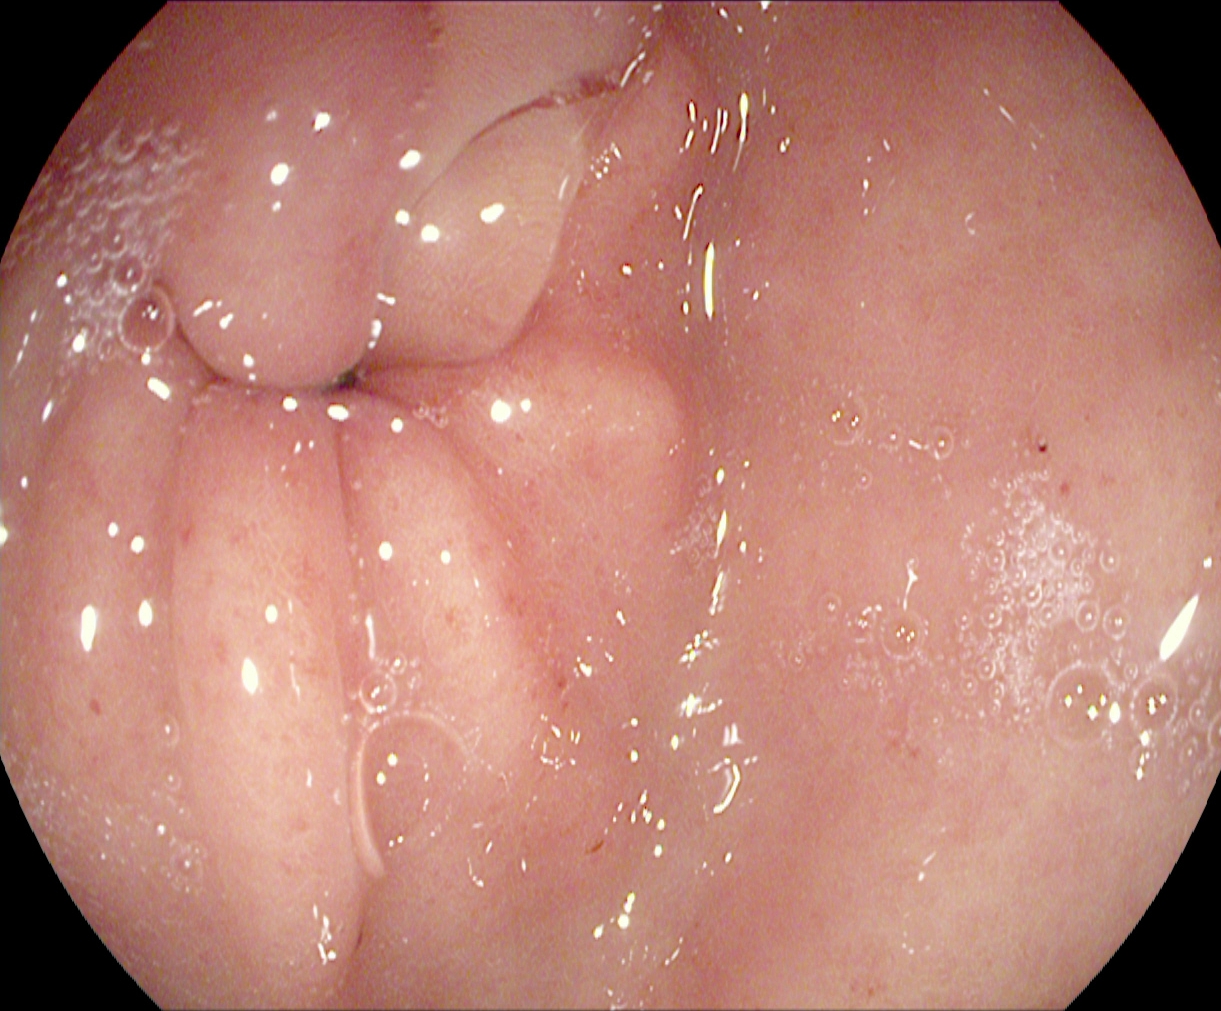modality: esophagogastroduodenoscopy | category: anatomical landmark | finding: pylorus